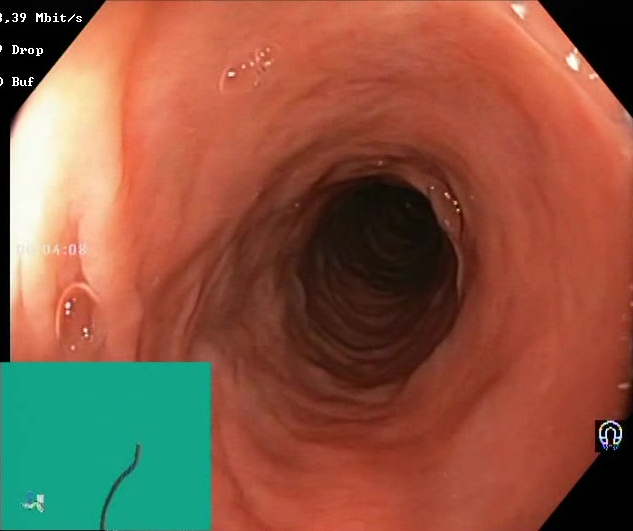{"modality": "colonoscopy", "tract": "lower GI tract", "finding": "BBPS score 2\u20133 (adequate preparation)"}